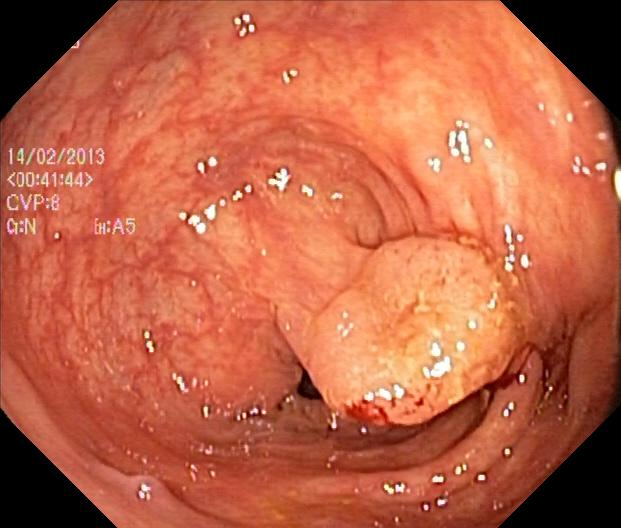Colorectal polyp(s).